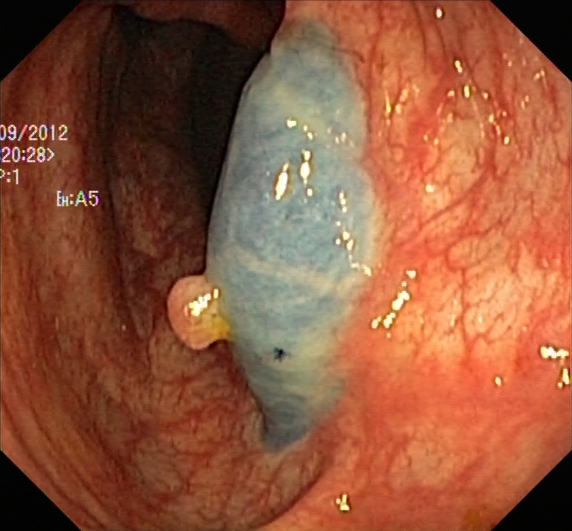This endoscopy frame of the lower GI tract shows dyed and lifted polyp (pre-resection).